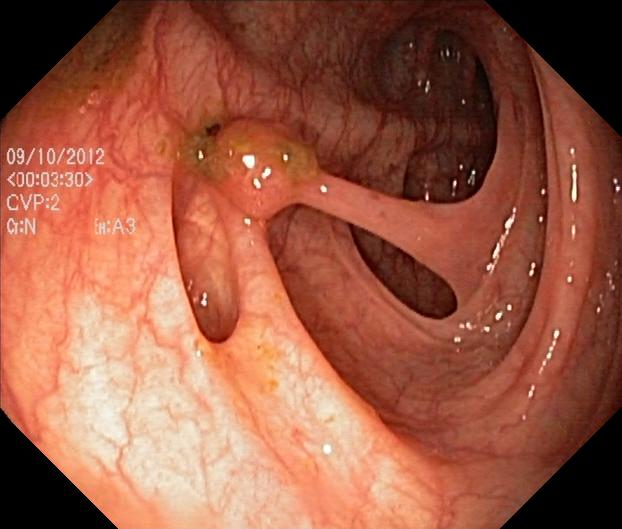Lower-GI endoscopy — colorectal polyp(s).